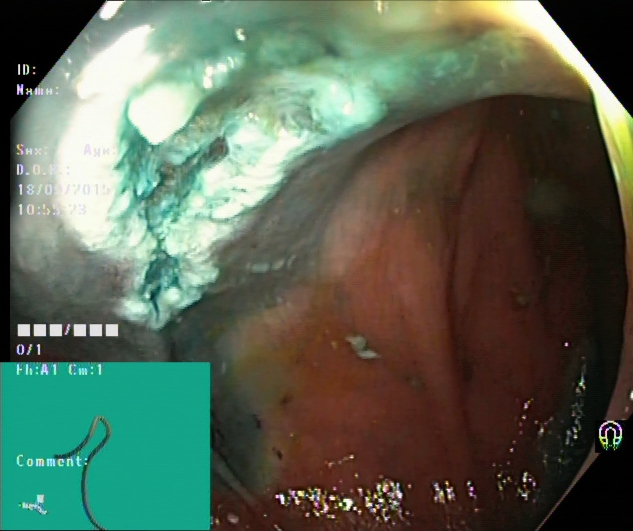Dyed resection margins (post-polypectomy).